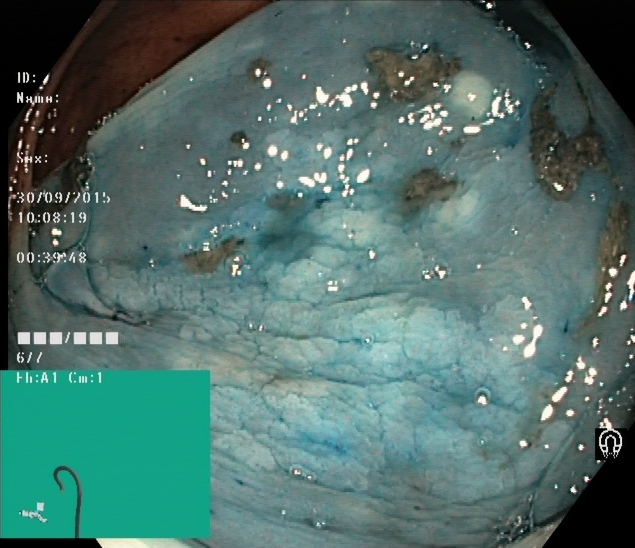This endoscopy frame shows dyed and lifted polyp (pre-resection).